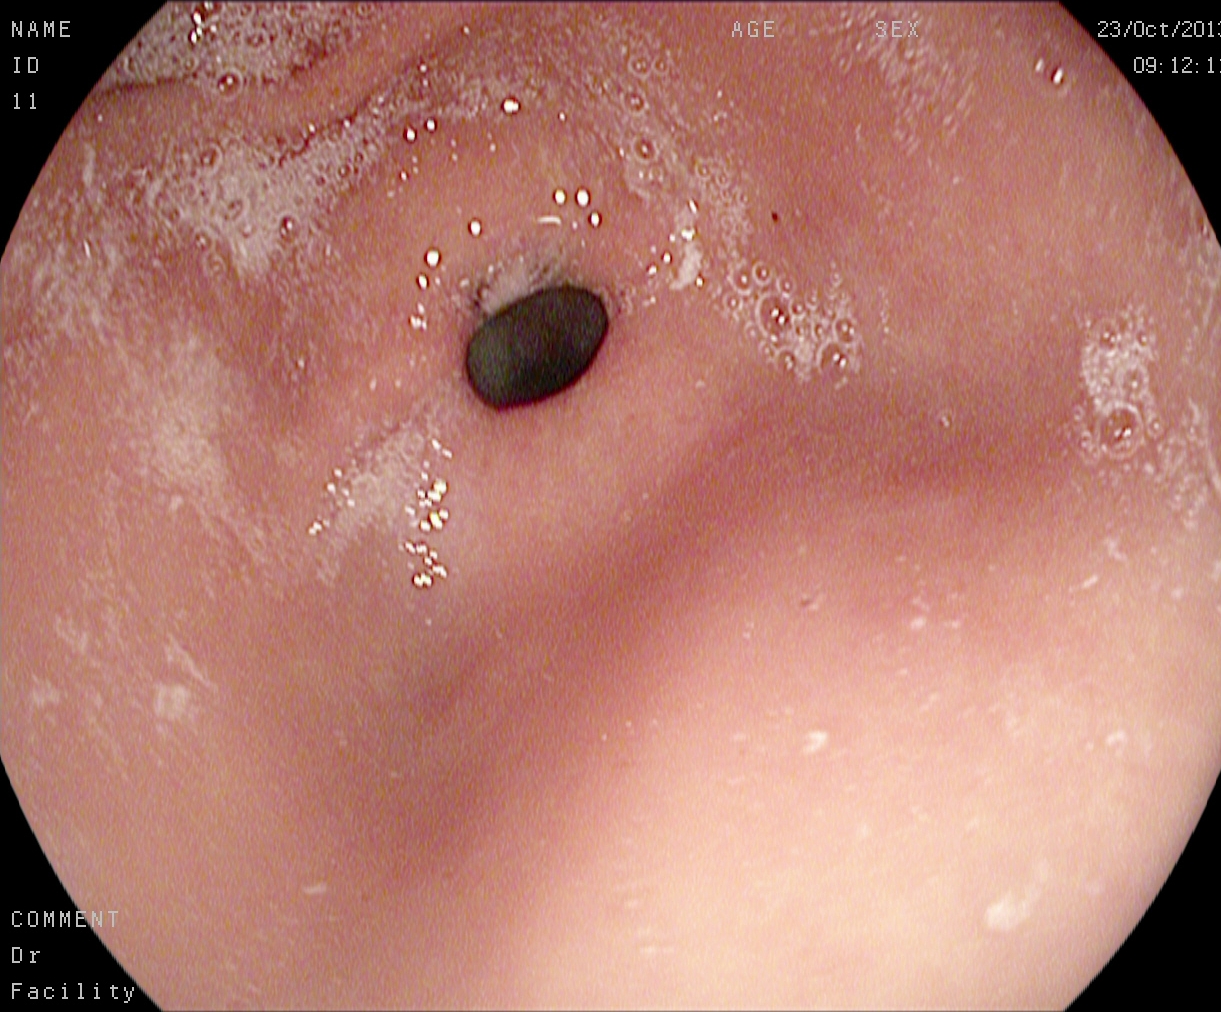This endoscopy frame shows pylorus.